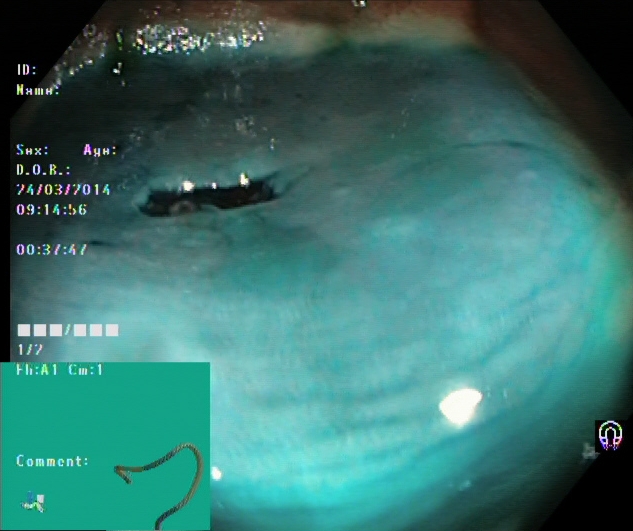Dyed resection margins (post-polypectomy).